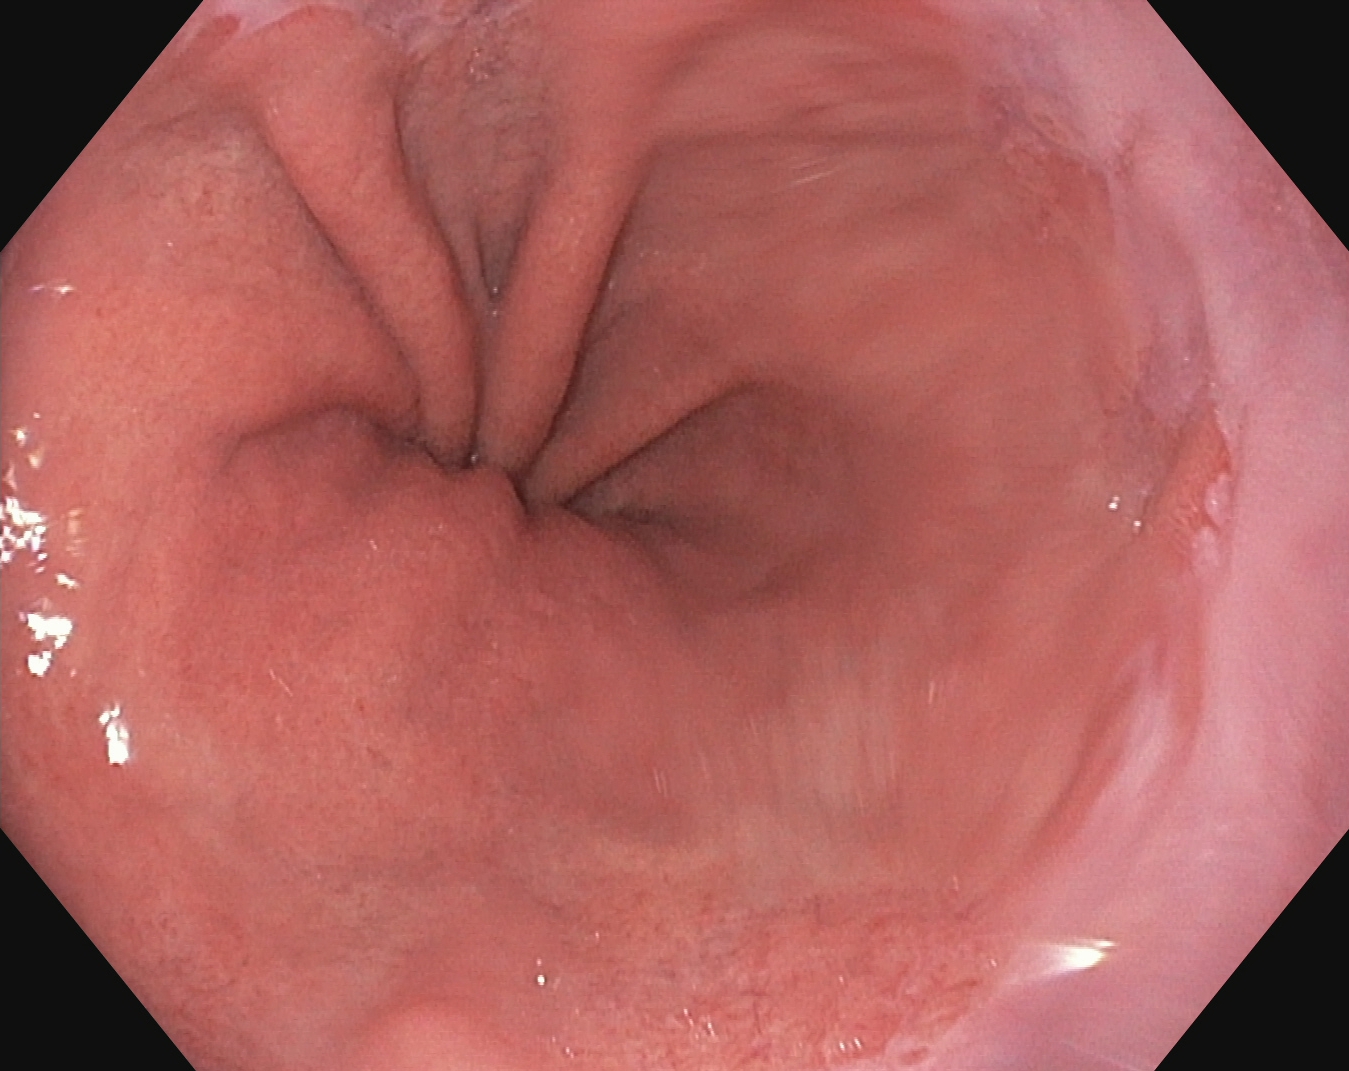modality: EGD | tract: upper GI tract | category: pathological finding | finding: reflux esophagitis, LA grade A